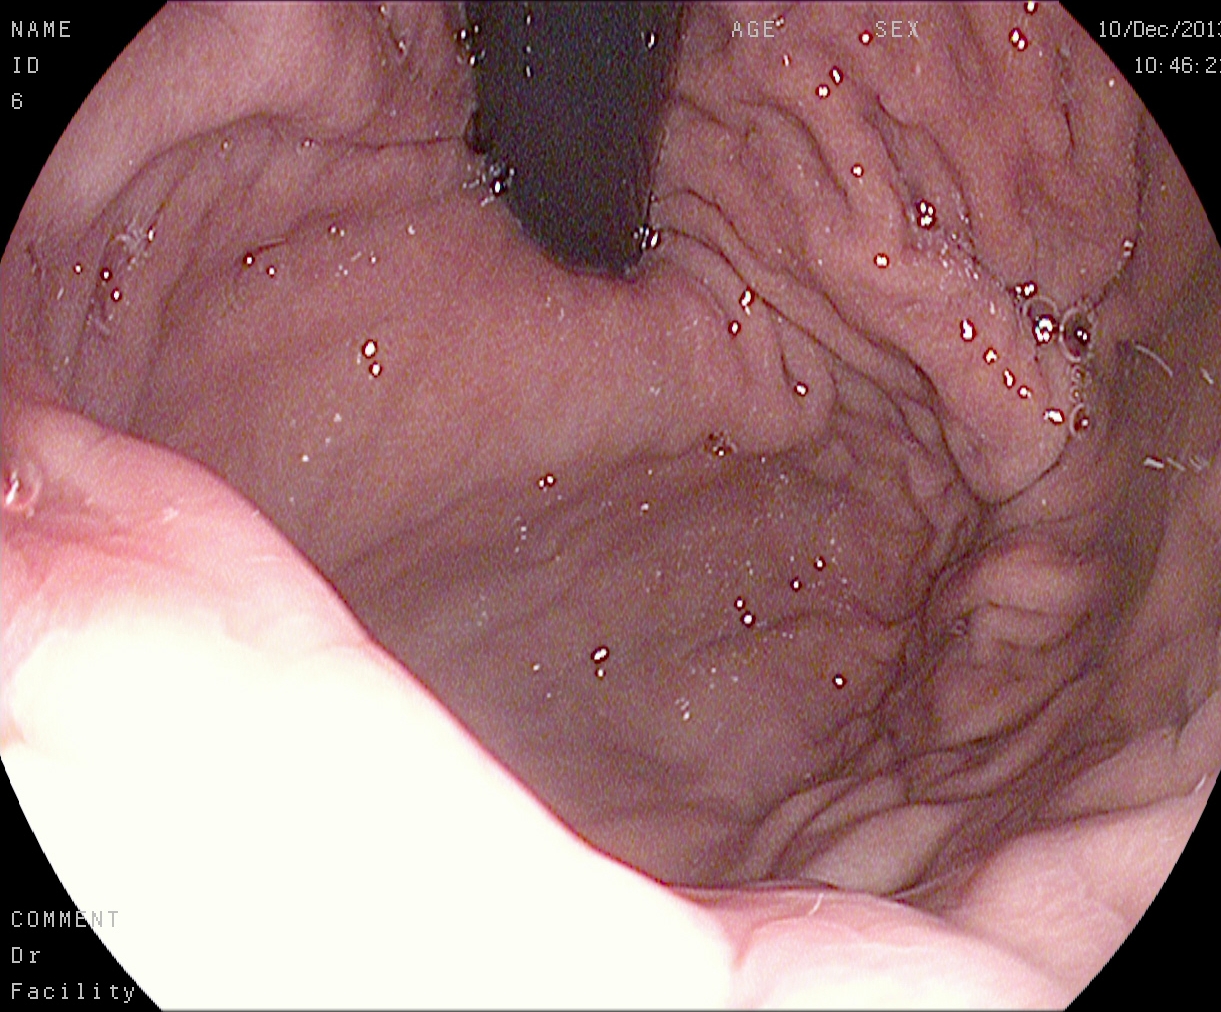Stomach in retroflexion.